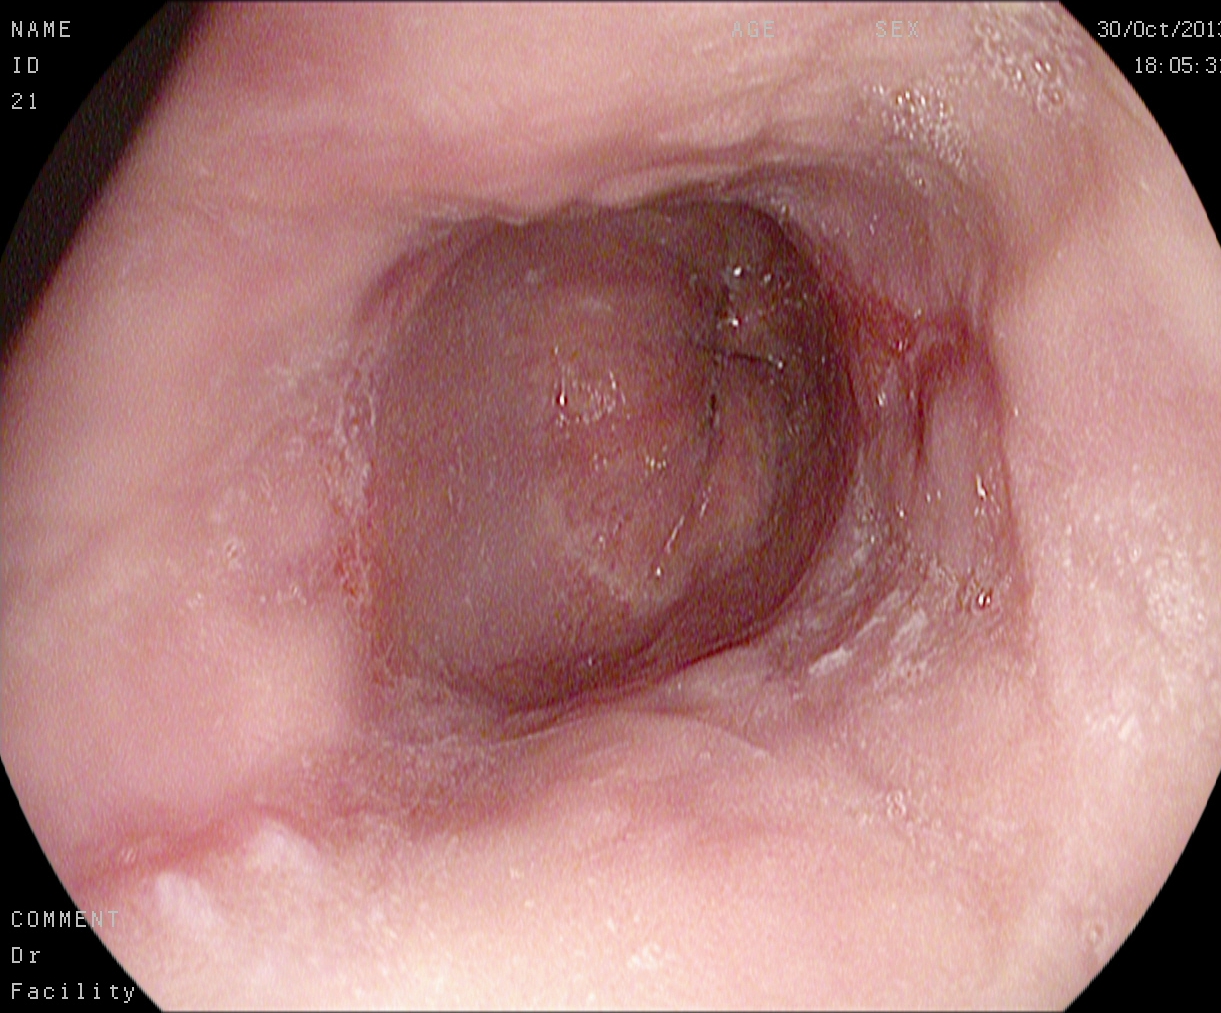{"modality": "EGD", "finding": "reflux esophagitis, Los Angeles grade A"}